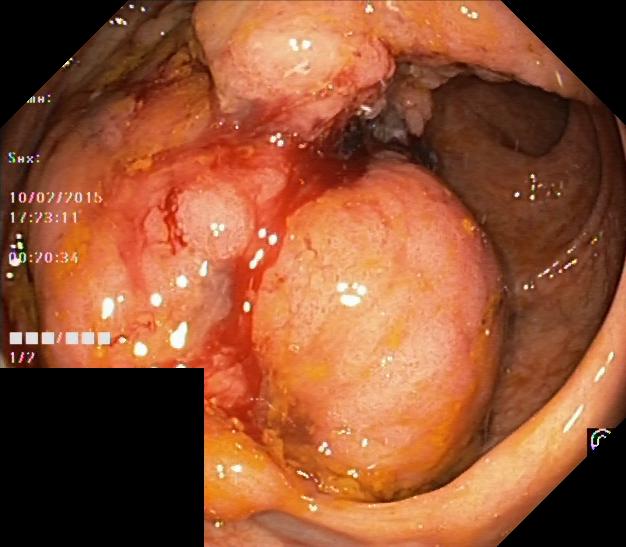{"modality": "lower-GI endoscopy", "tract": "lower GI tract", "category": "pathological finding", "finding": "colorectal polyp(s)"}